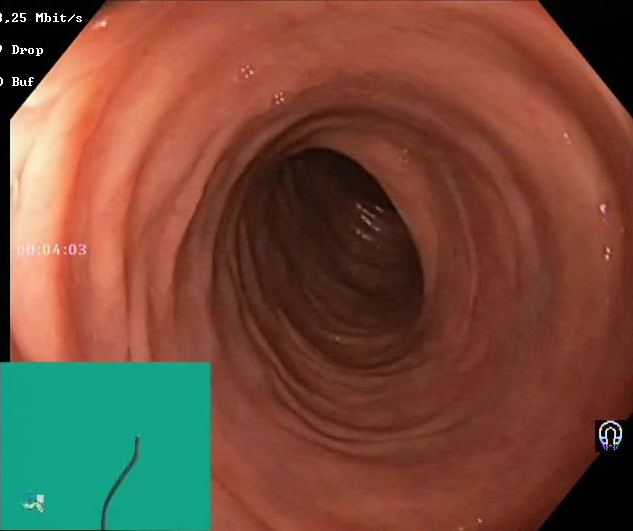Lower-GI endoscopy. Mucosal-view quality. Finding: BBPS score 2–3 (adequate preparation).